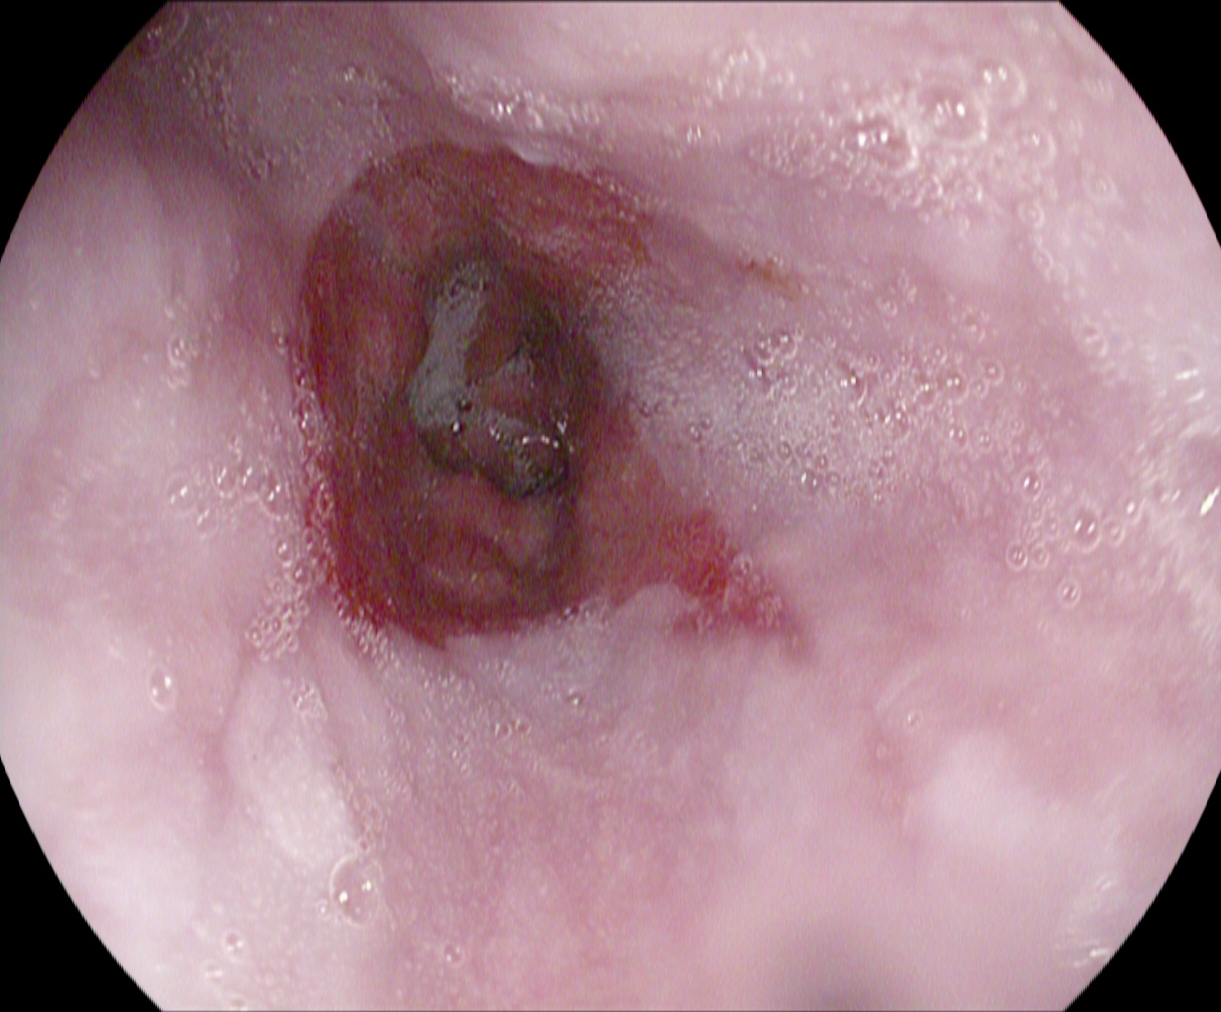Endoscopy image showing reflux esophagitis, Los Angeles grade B–D.